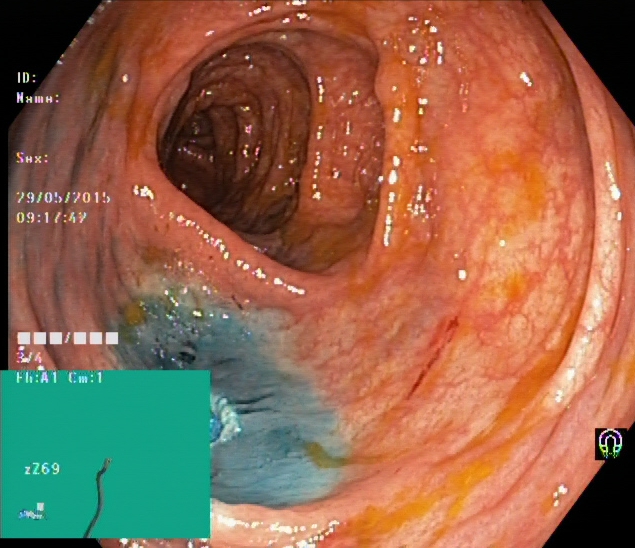dyed resection margins (post-polypectomy).